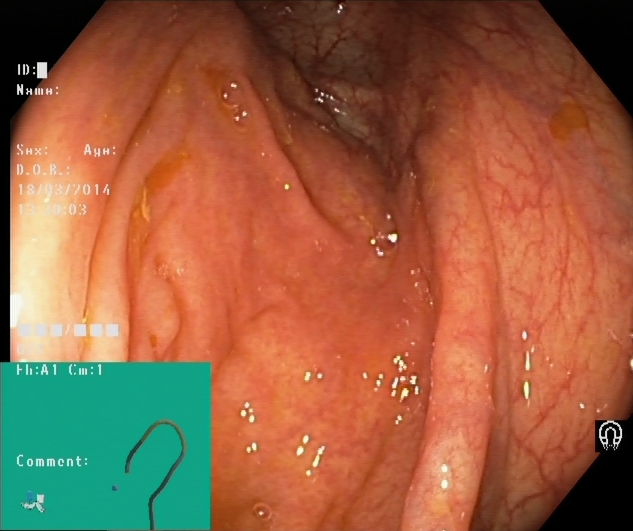PROCEDURE: Lower gastrointestinal endoscopy.
FINDINGS: Cecum.